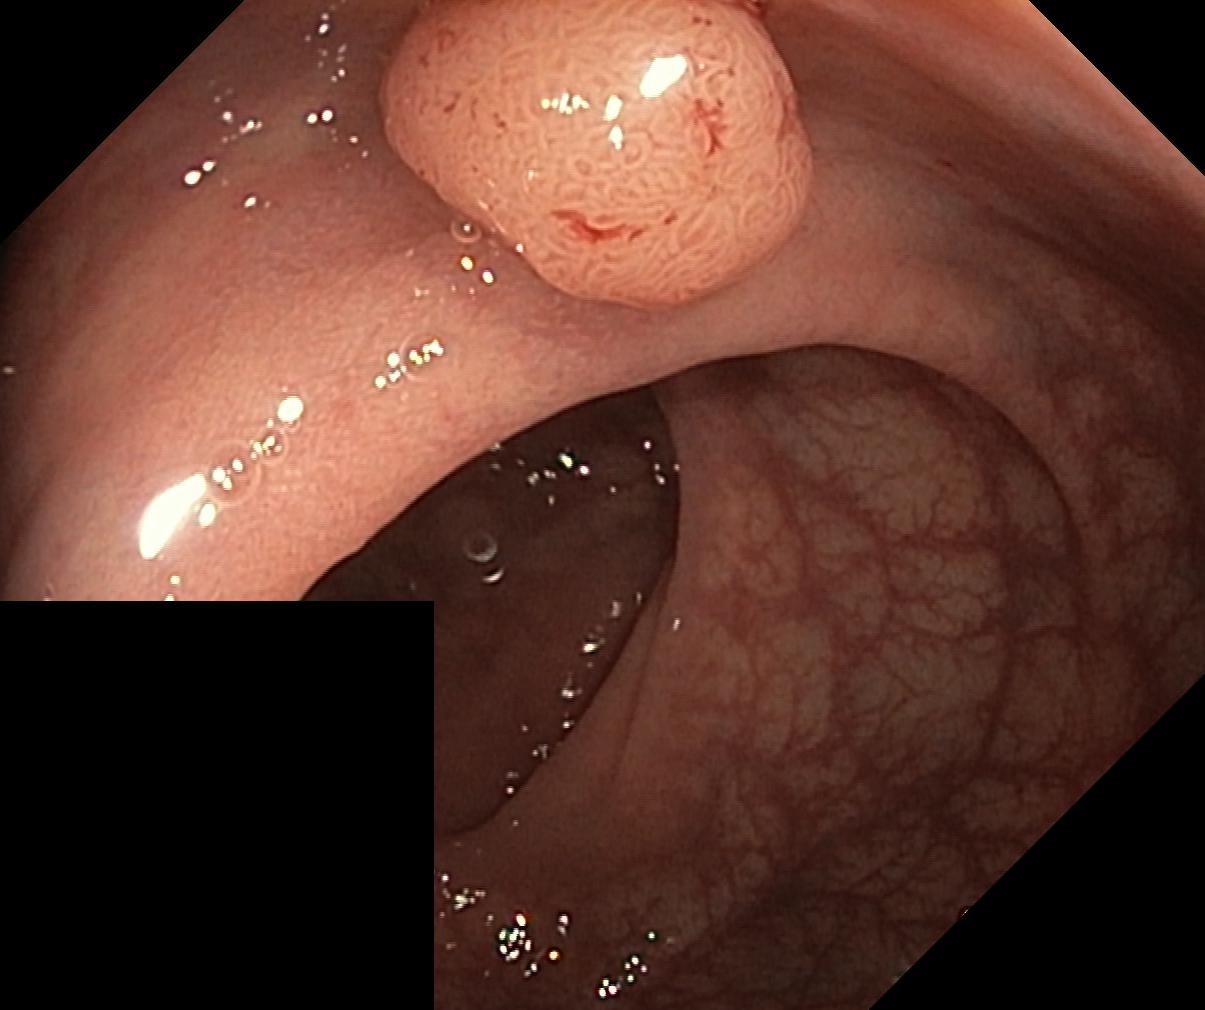Lower-GI endoscopy — colorectal polyp(s).